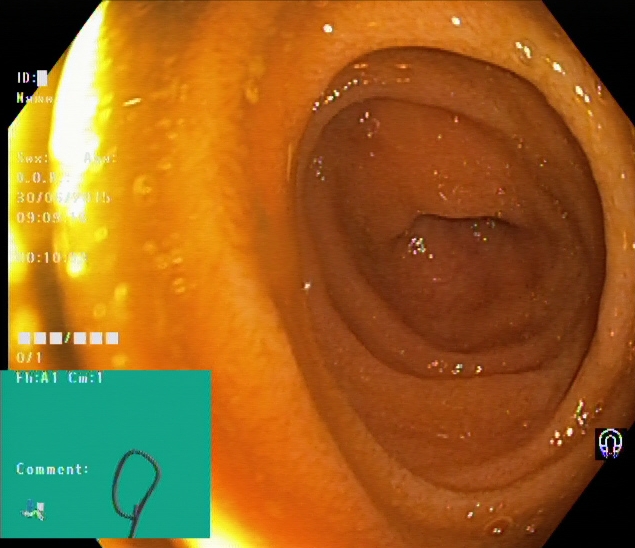modality: lower gastrointestinal endoscopy
tract: lower GI tract
finding: cecum